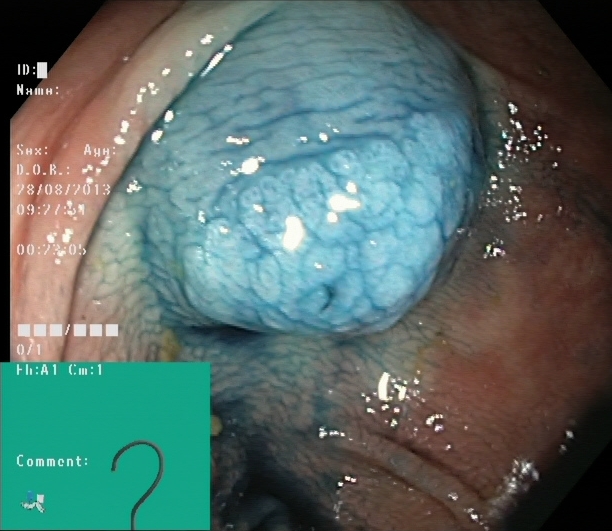GI endoscopy image of the lower GI tract showing dyed and lifted polyp (pre-resection).